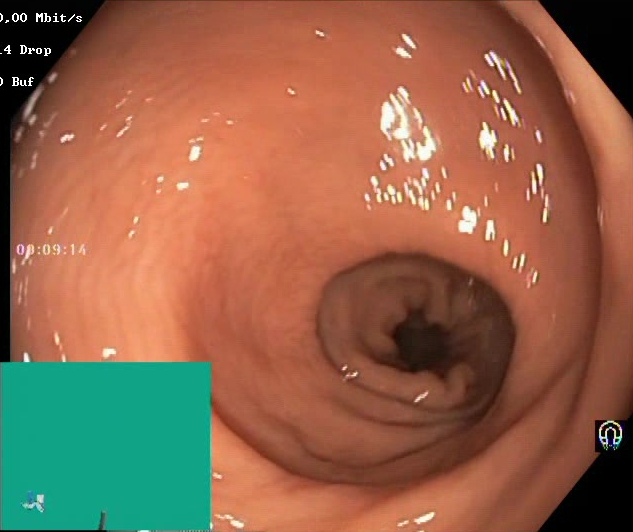GI endoscopy image showing Boston Bowel Preparation Scale score 2–3 (adequate preparation).